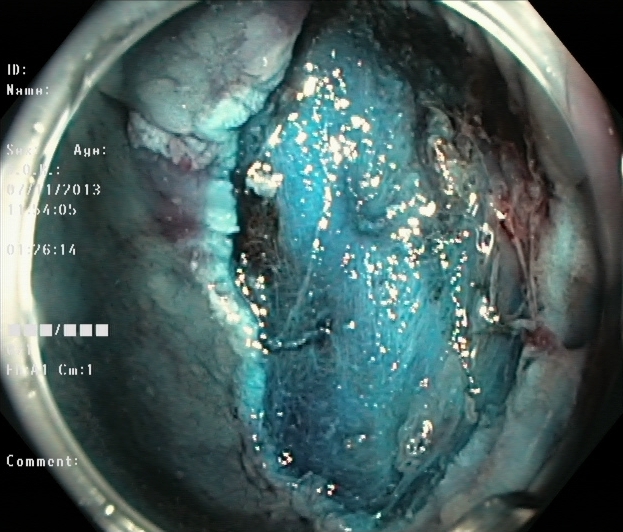PROCEDURE: Colonoscopy.
FINDINGS: Dyed resection margins (post-polypectomy).